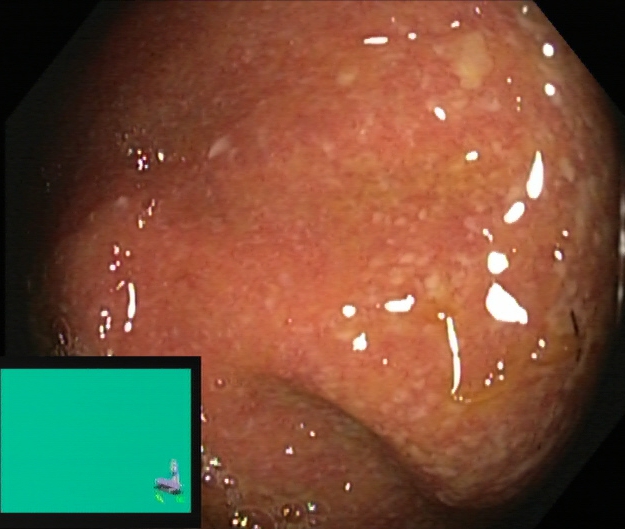PROCEDURE: Colonoscopy.
FINDINGS: Ulcerative colitis, Mayo endoscopic subscore 2.